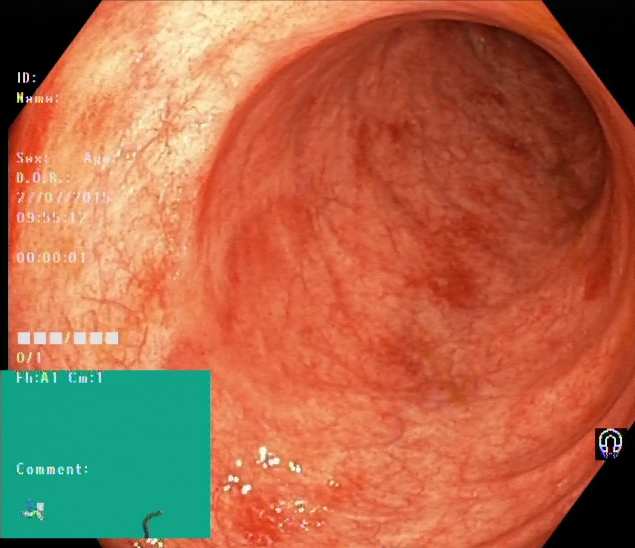modality: lower-GI endoscopy | tract: lower GI tract | finding: UC, Mayo endoscopic subscore 1